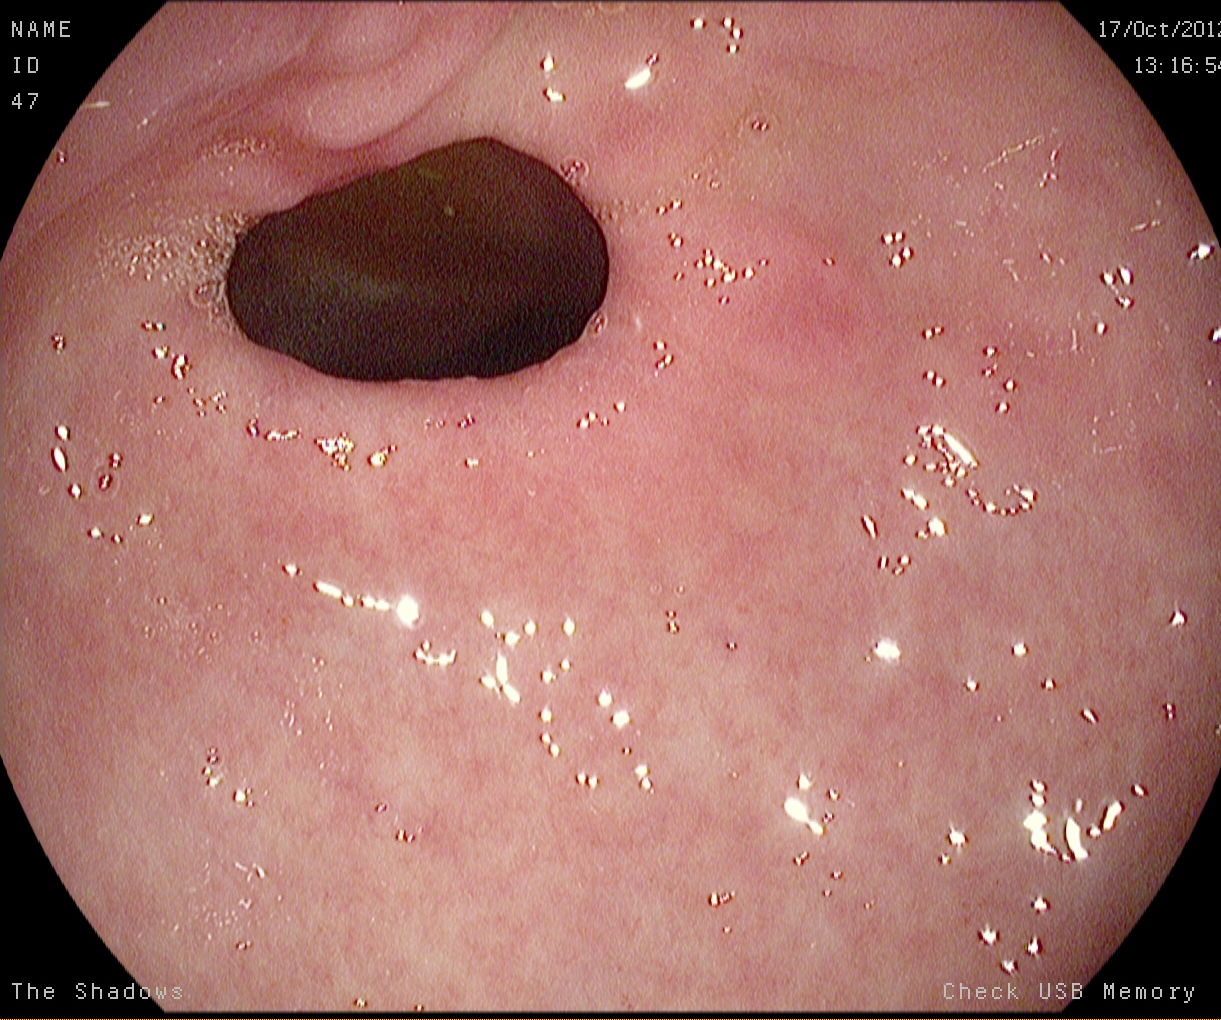{"modality": "EGD", "finding": "pylorus"}